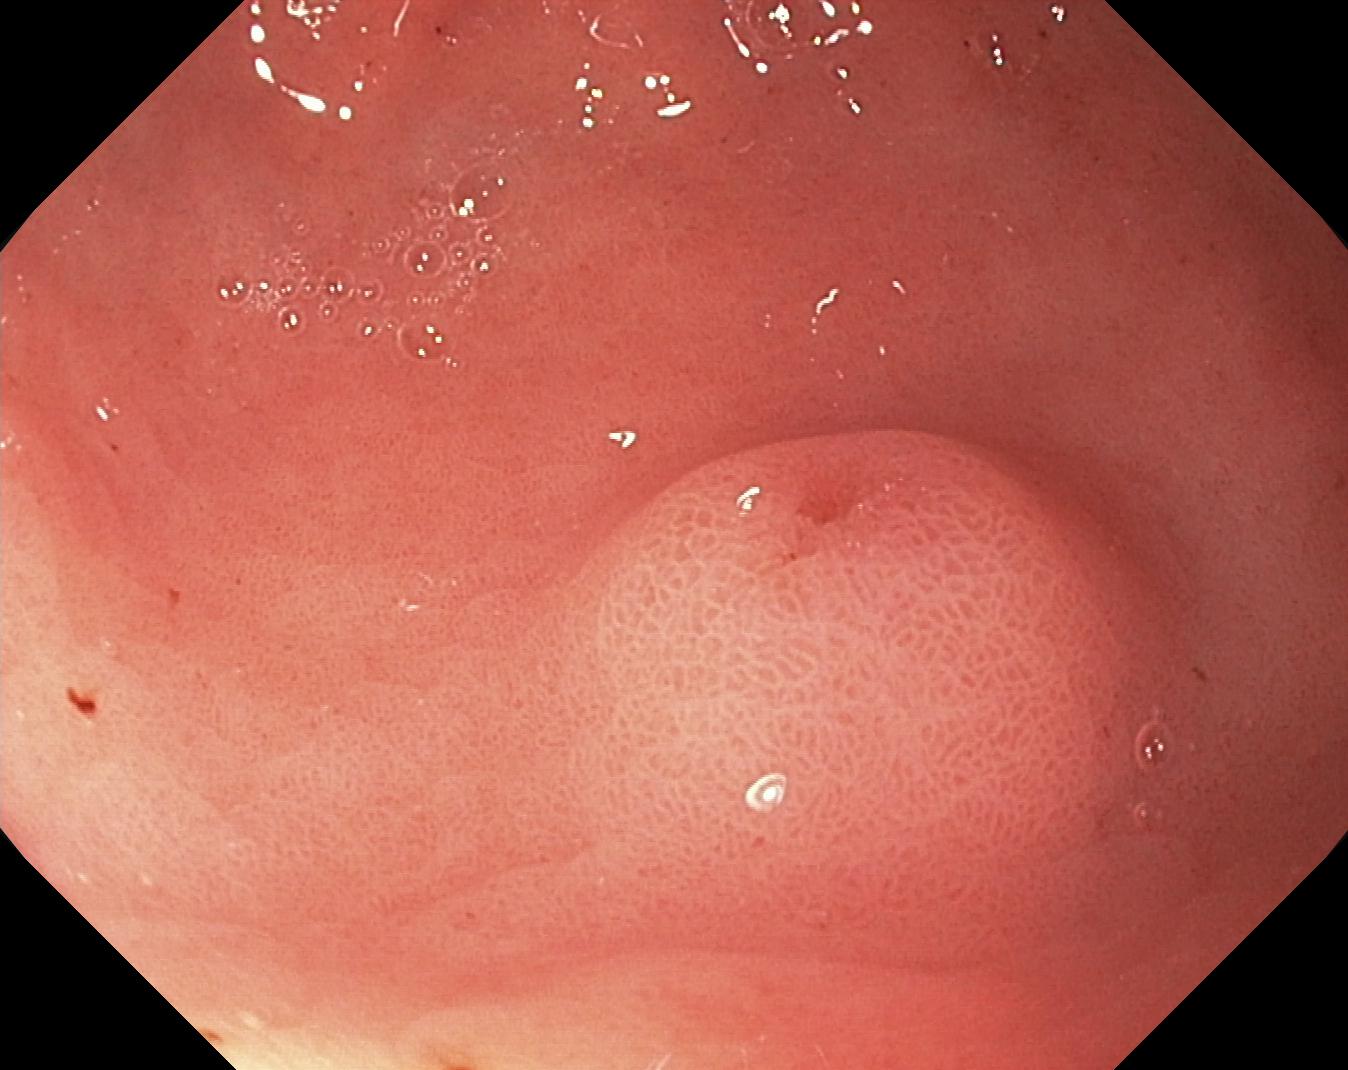{"modality": "lower-GI endoscopy", "tract": "lower GI tract", "finding": "colorectal polyp(s)"}